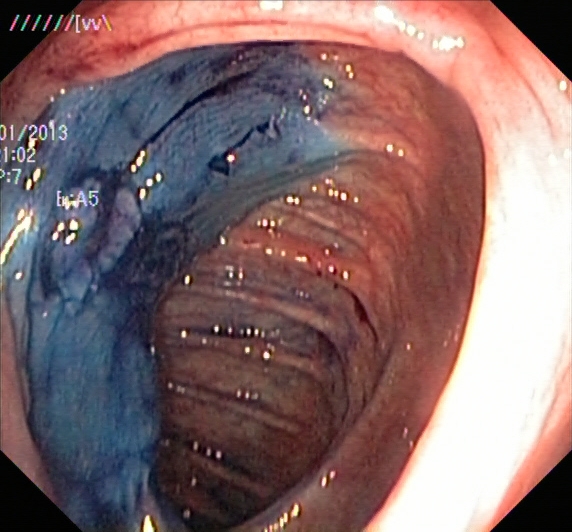dyed and lifted polyp (pre-resection).